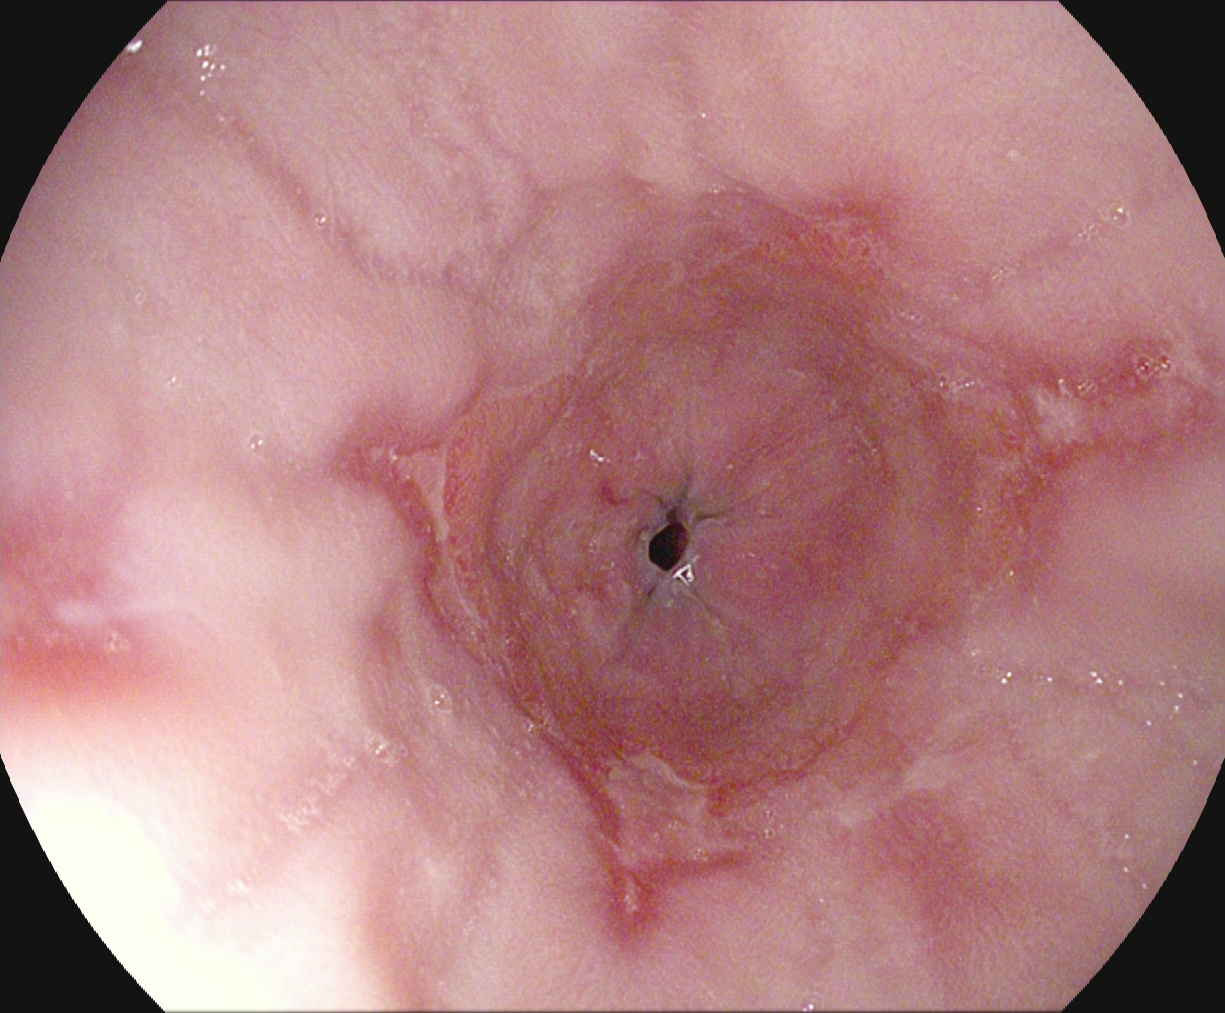Reflux esophagitis, Los Angeles grade A.